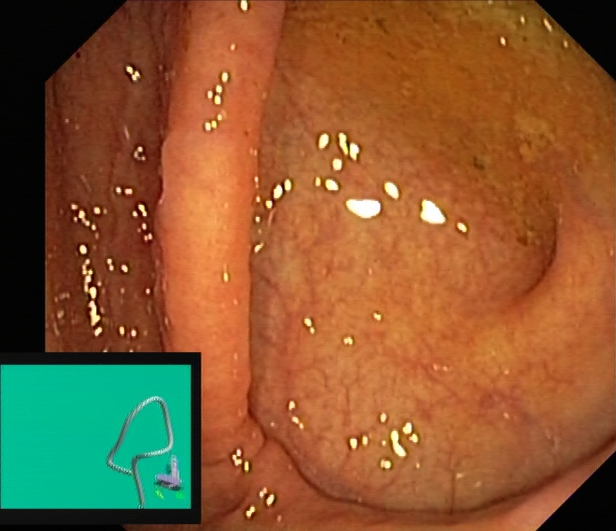modality: colonoscopy; tract: lower GI tract; finding: cecum